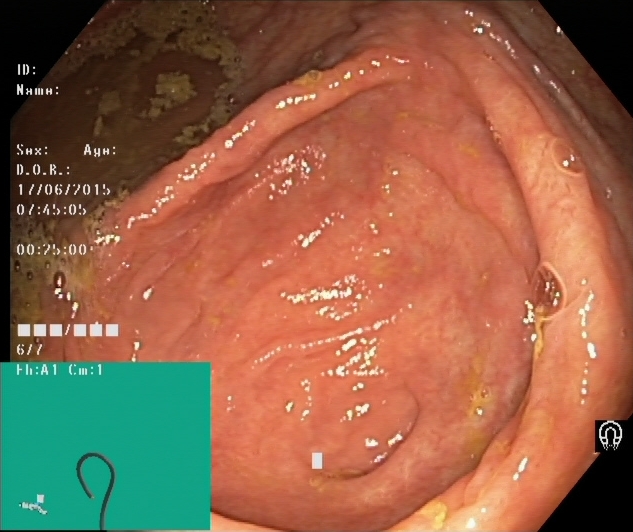modality: lower-GI endoscopy
tract: lower GI tract
category: anatomical landmark
finding: cecum